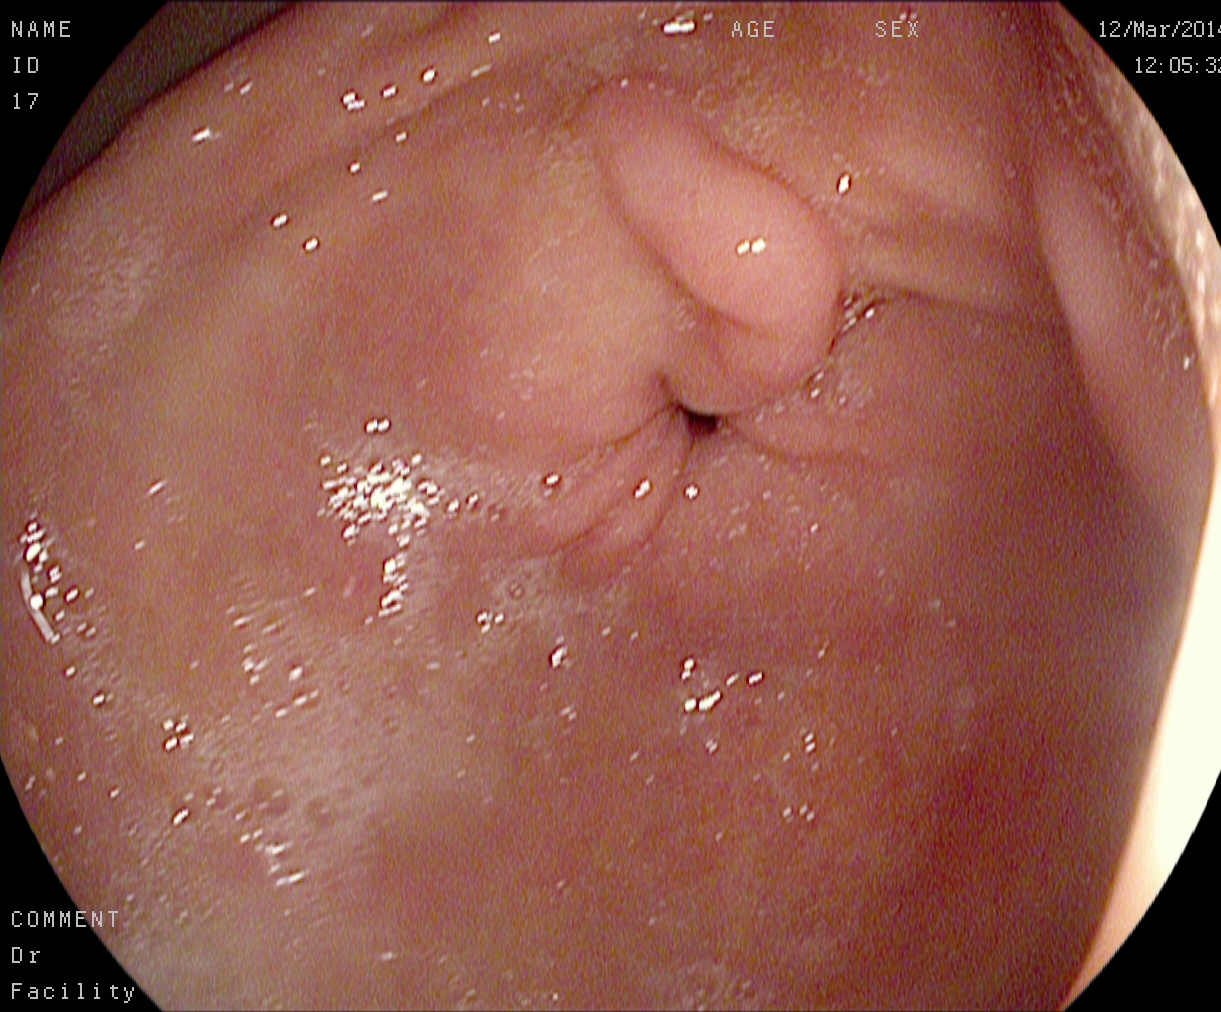{"modality": "gastroscopy", "tract": "upper GI tract", "finding": "pylorus"}